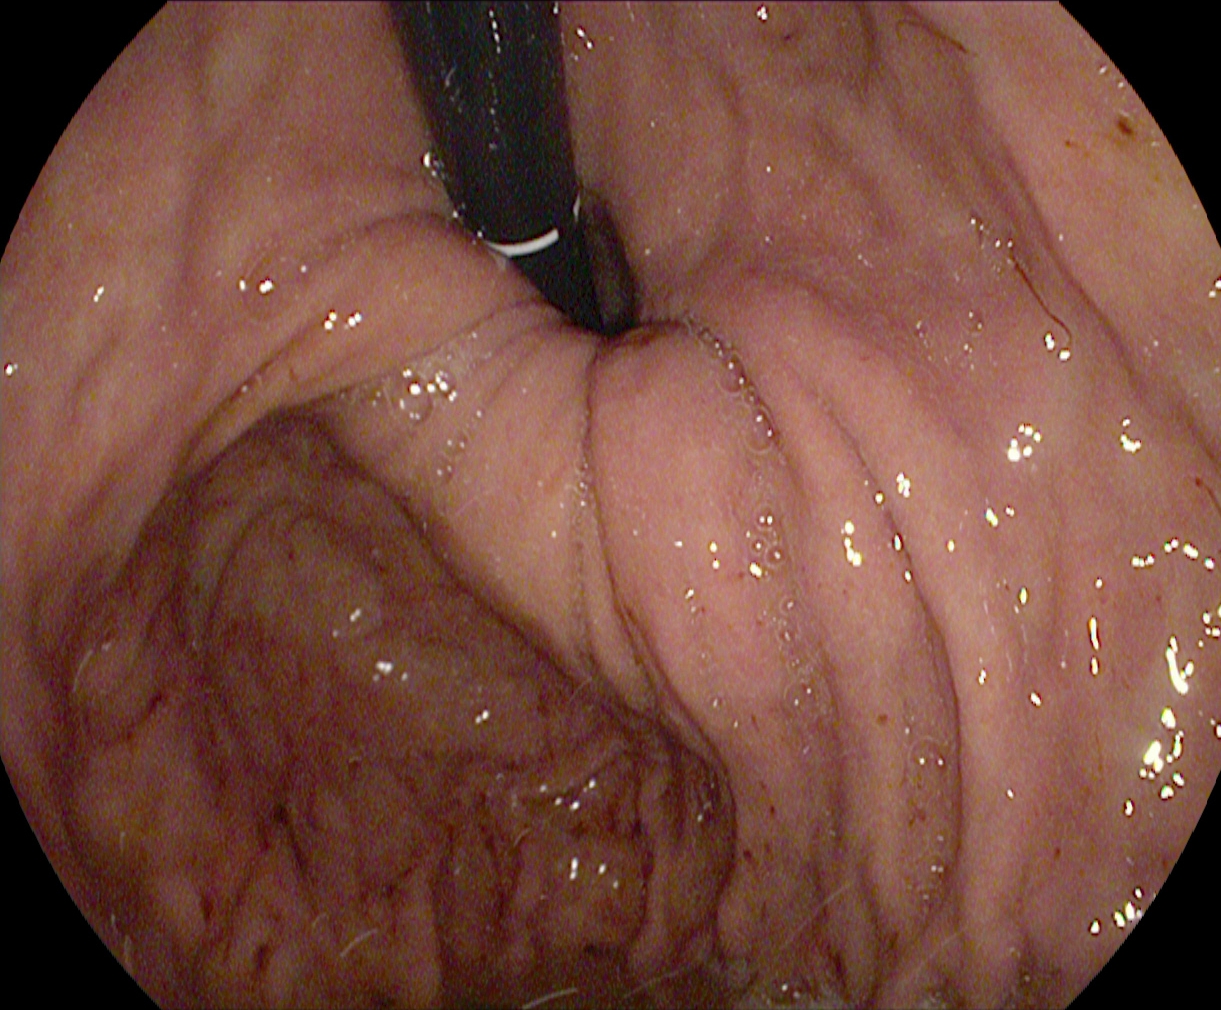PROCEDURE: Upper-GI endoscopy.
CATEGORY: Anatomical landmark.
FINDINGS: Stomach in retroflexion.